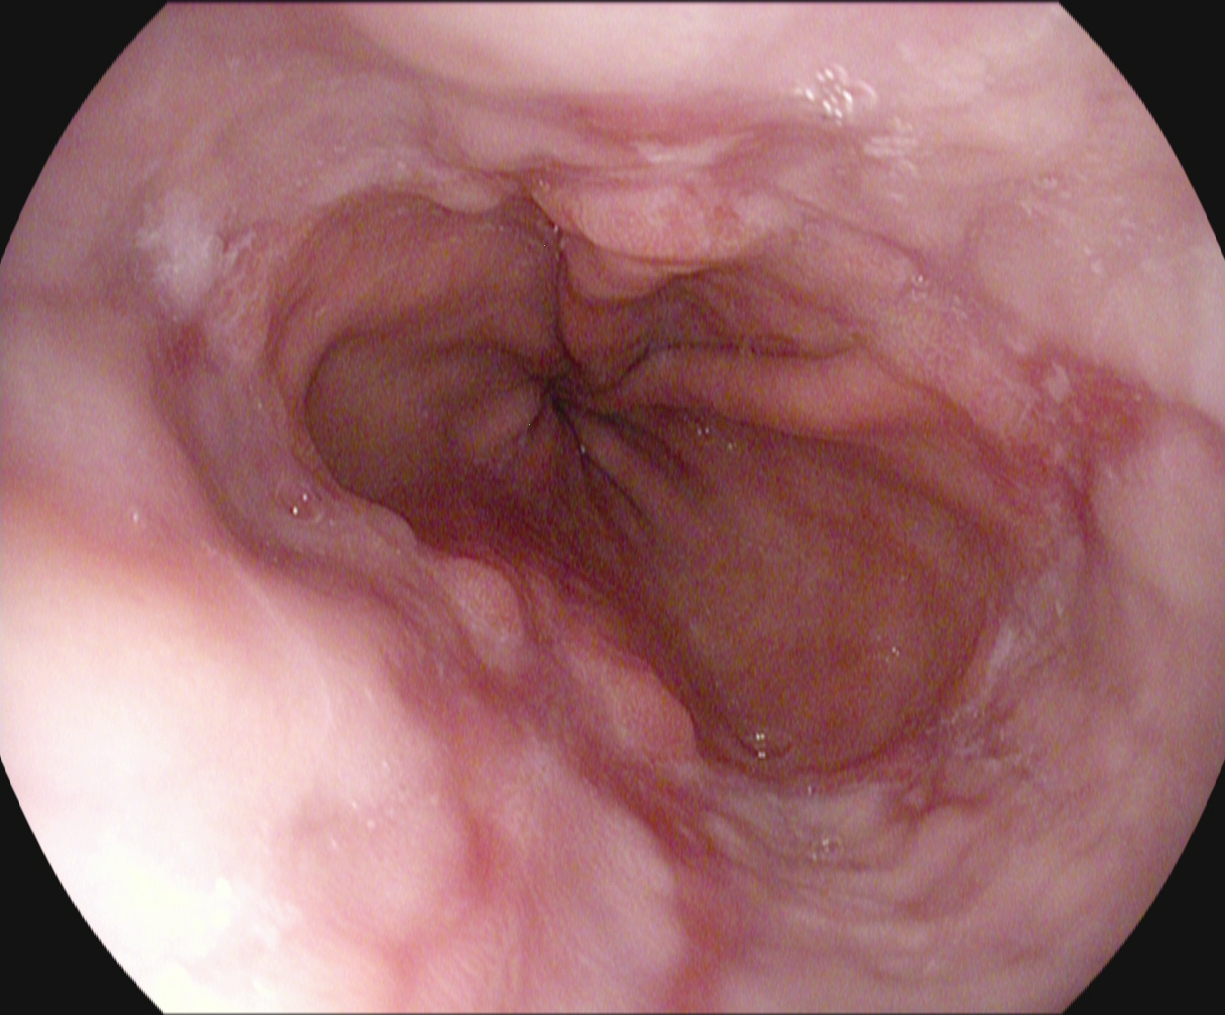Endoscopic image showing reflux esophagitis, Los Angeles grade A.